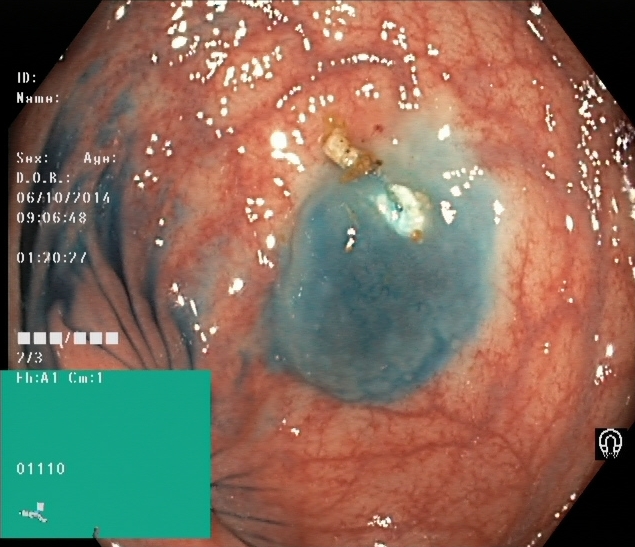dyed and lifted polyp (pre-resection).